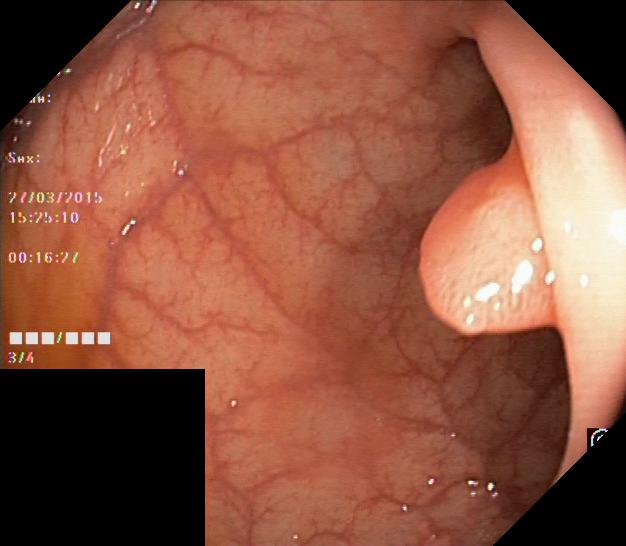This endoscopy frame of the lower GI tract shows colorectal polyp(s).